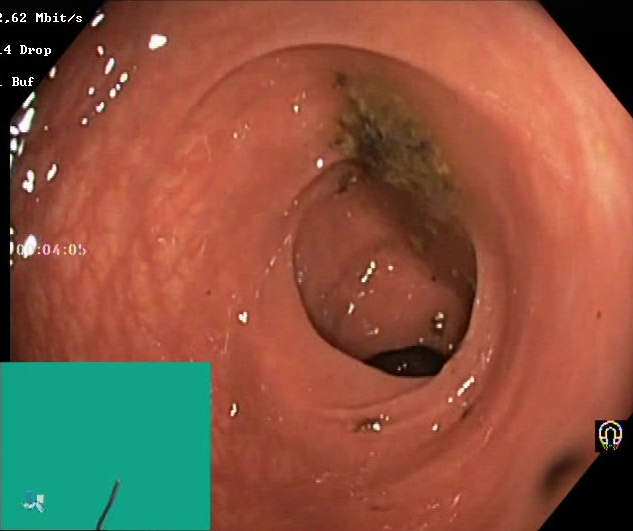Colonoscopy image of the lower GI tract showing BBPS score 0–1 (inadequate preparation).